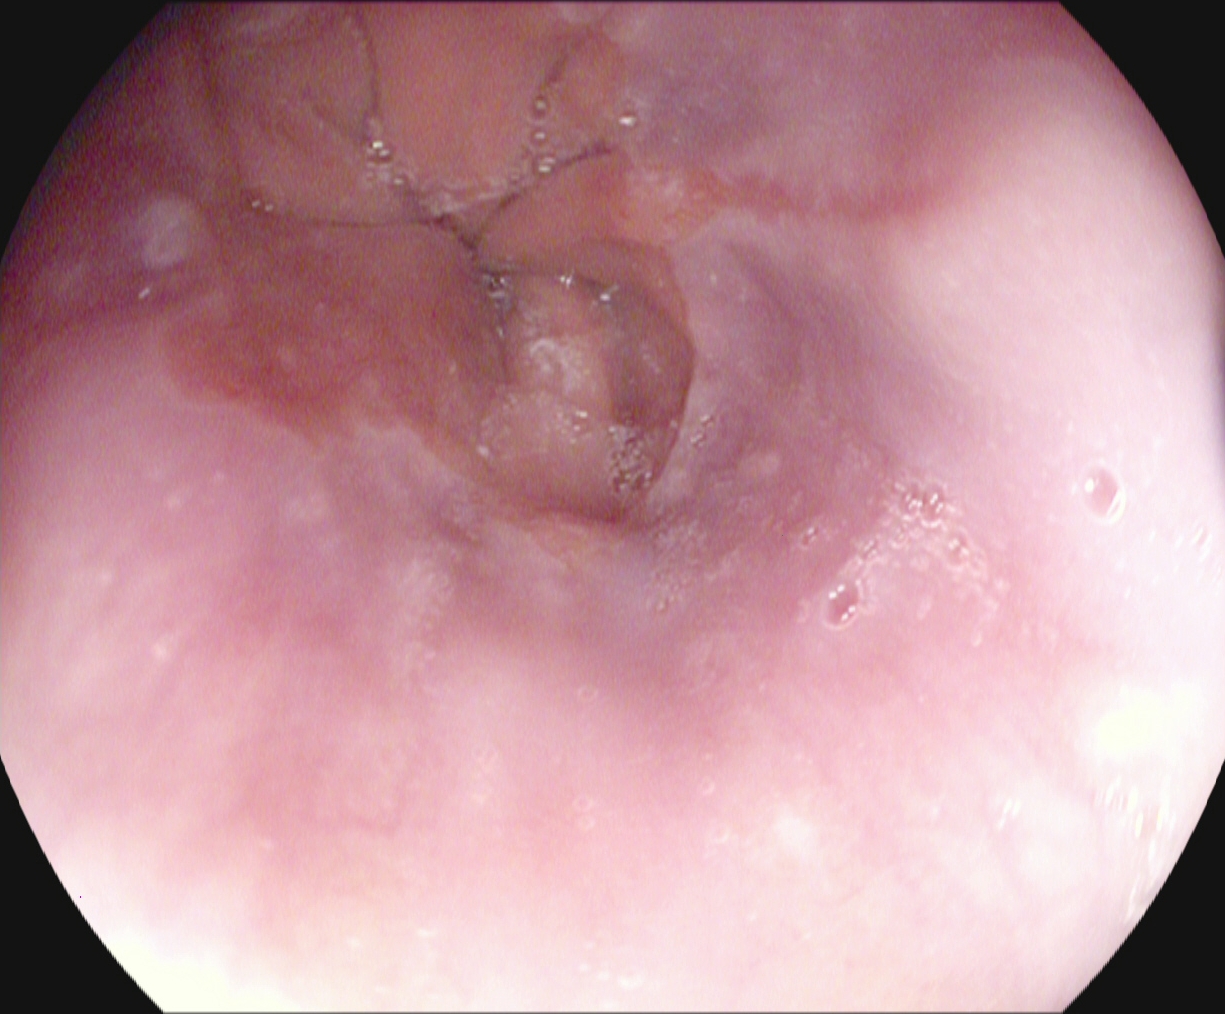Gastroscopy image of the upper GI tract showing reflux esophagitis, LA grade A.